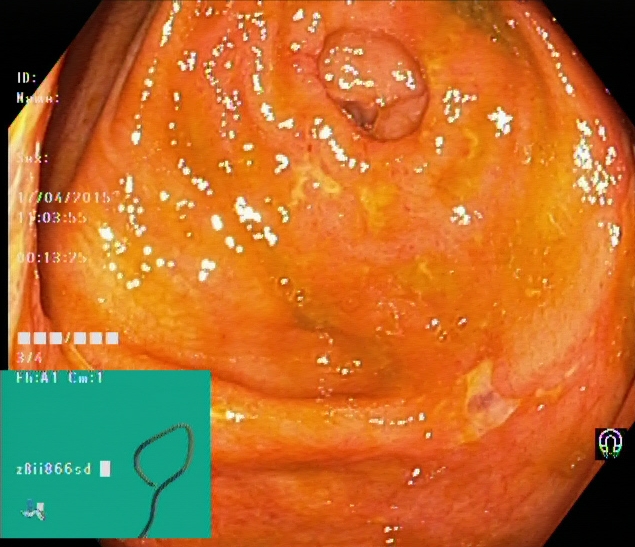Gastrointestinal endoscopy image of the lower GI tract showing cecum.